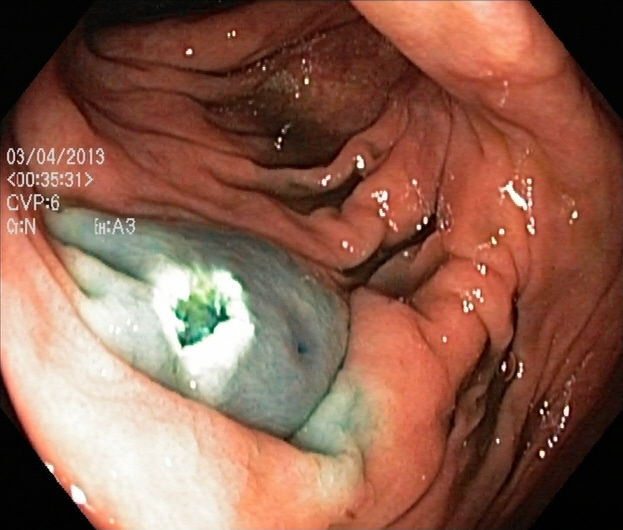Lower-GI endoscopy. Tract: lower GI tract. Finding: dyed resection margins (post-polypectomy).